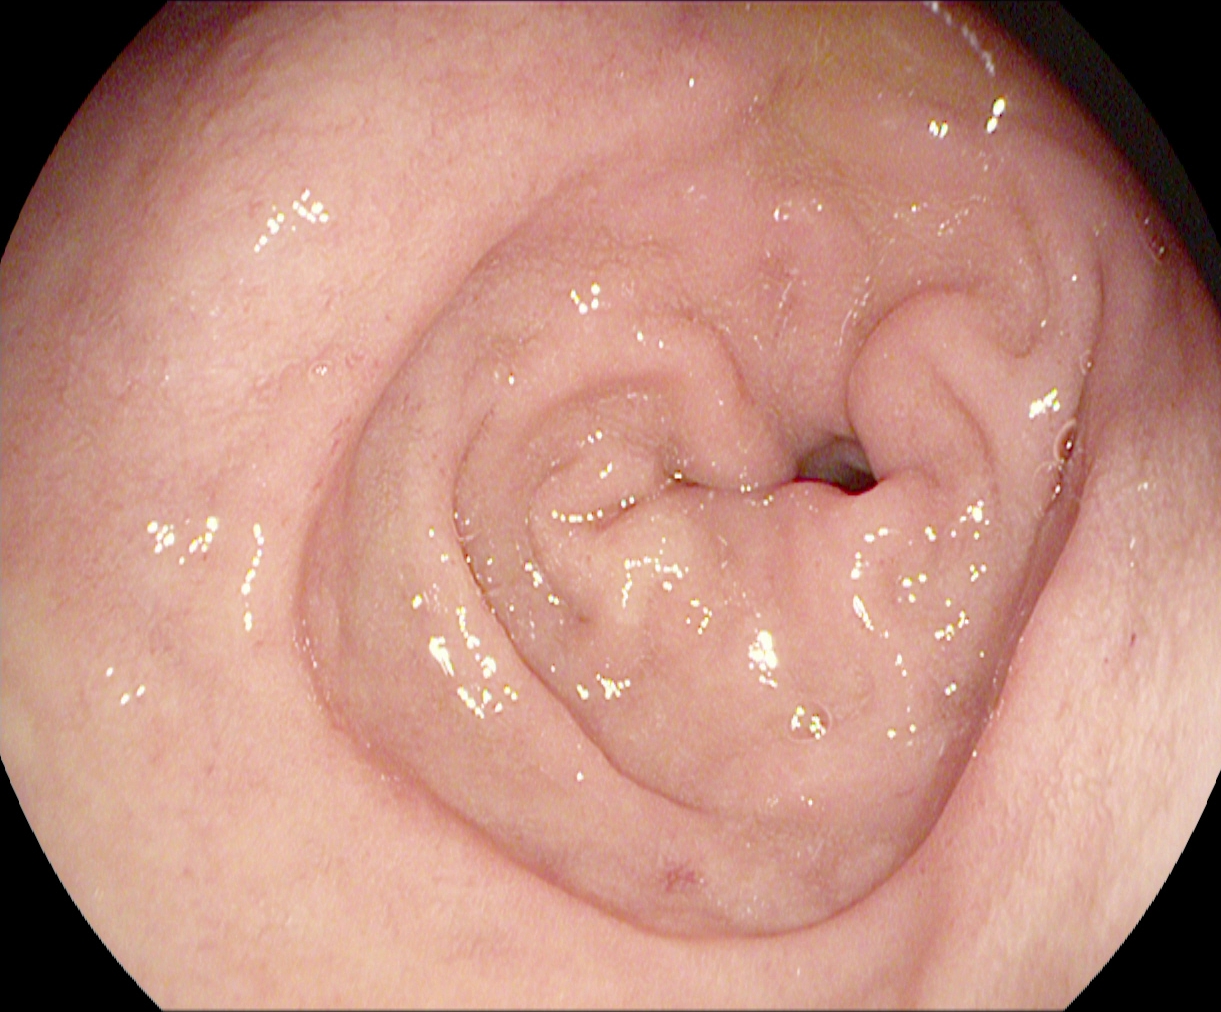EGD image showing pylorus.